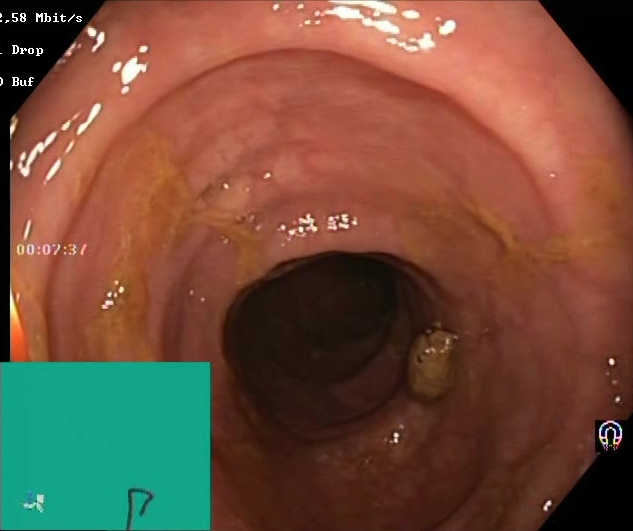{"modality": "lower gastrointestinal endoscopy", "finding": "BBPS score 2\u20133 (adequate preparation)"}